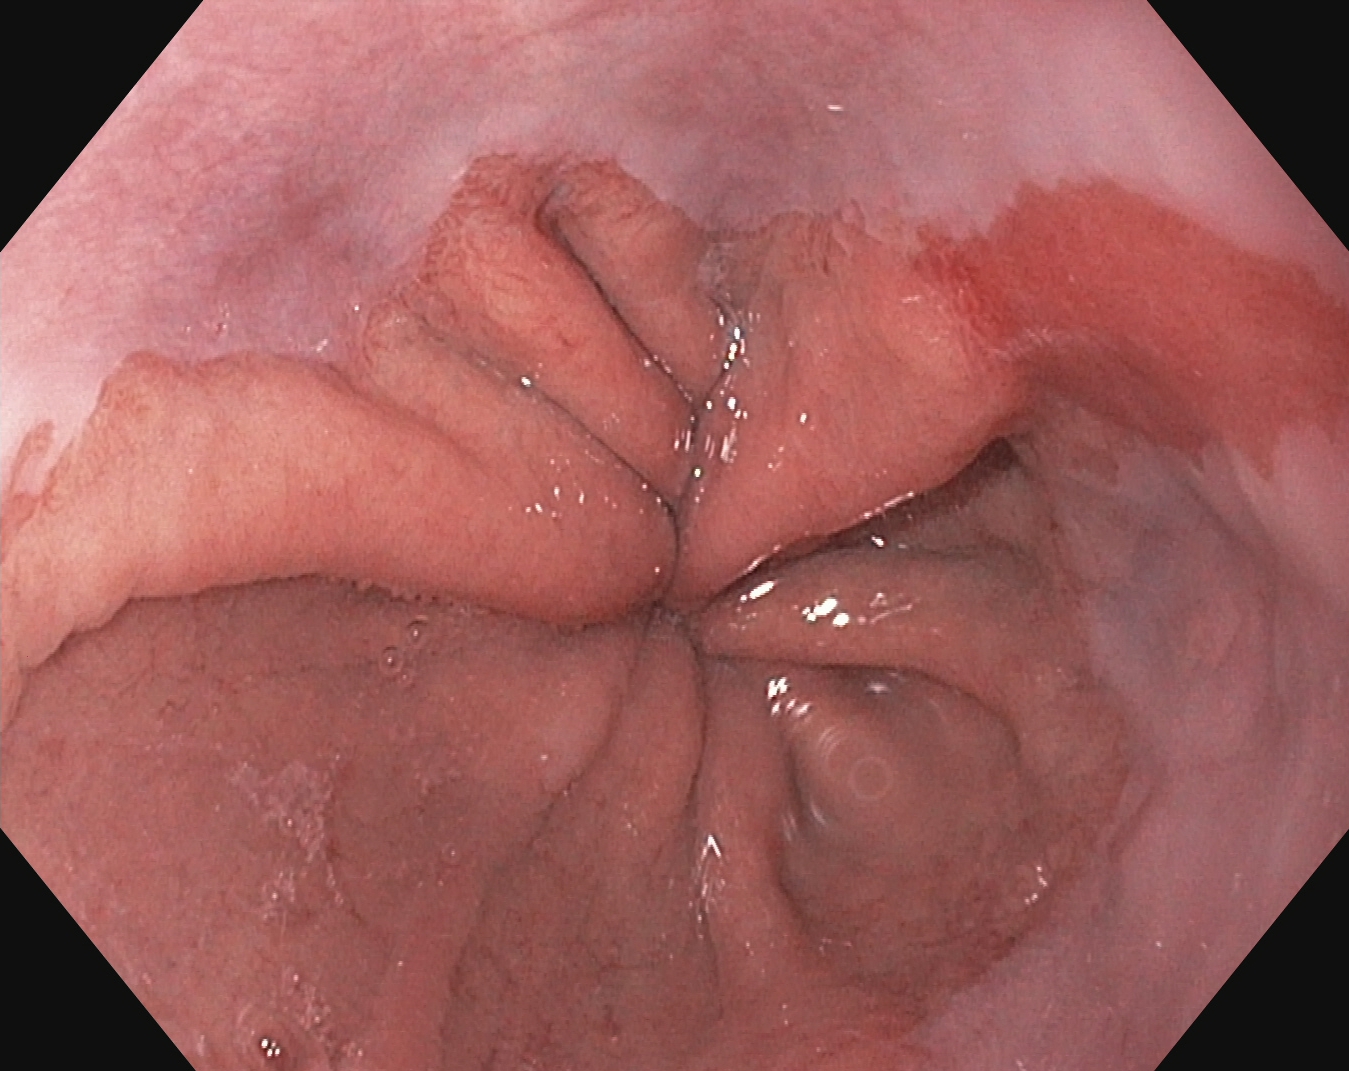Barrett's esophagus, short segment.